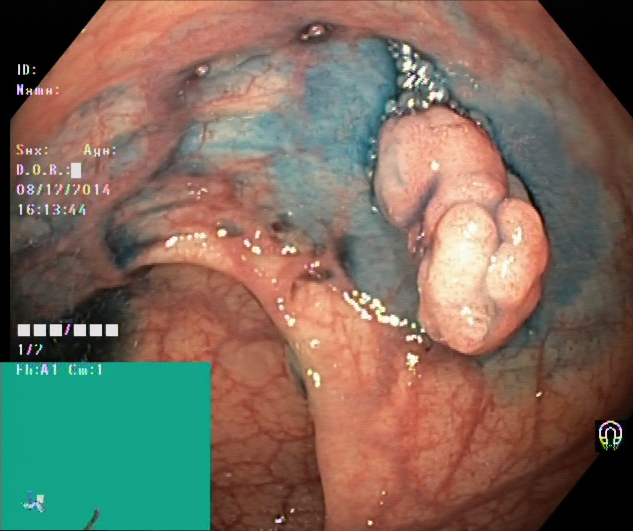modality: lower-GI endoscopy; tract: lower GI tract; finding: dyed and lifted polyp (pre-resection)